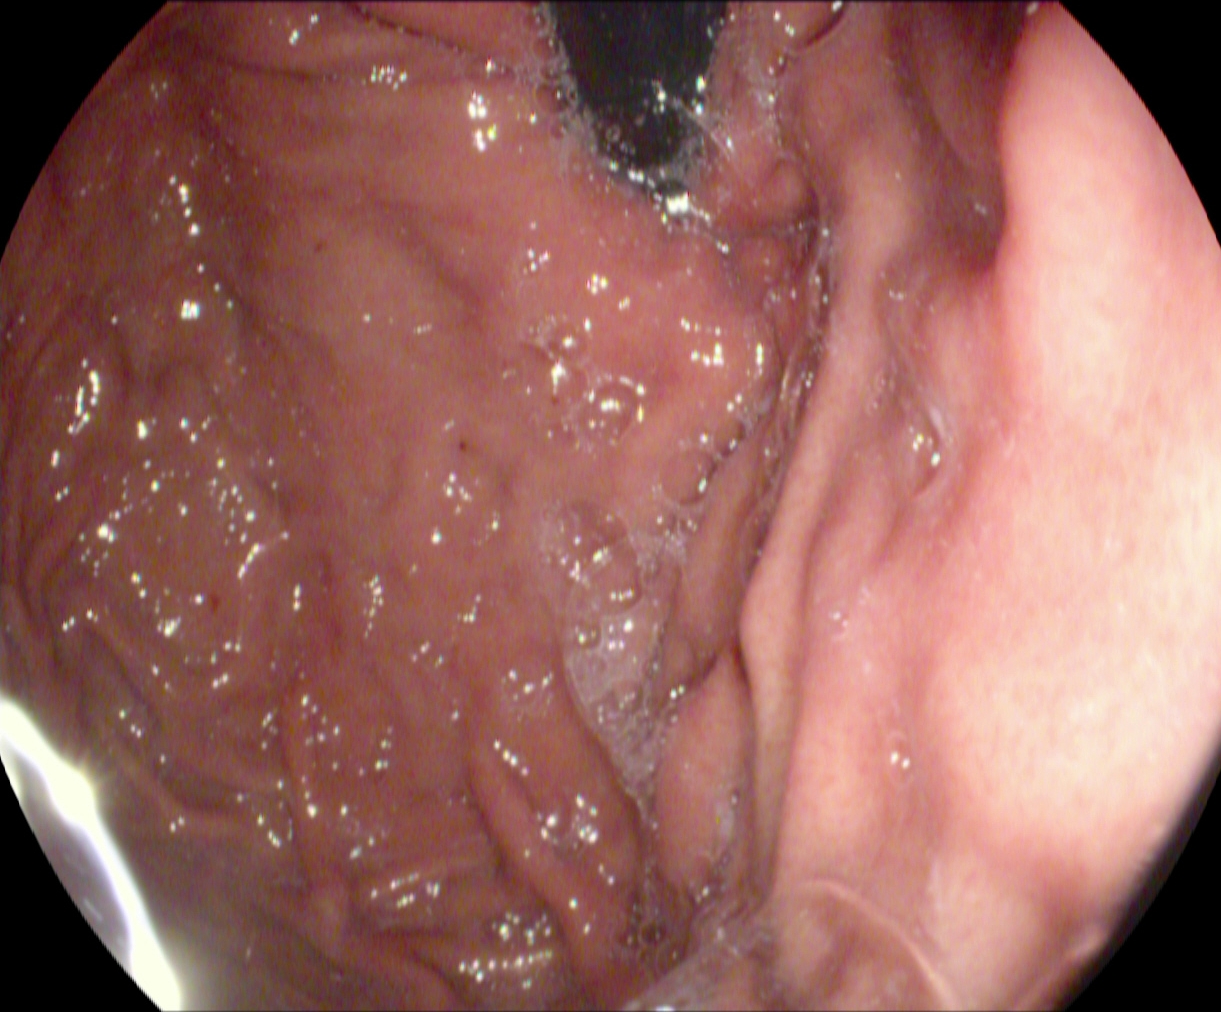modality: upper-GI endoscopy
tract: upper GI tract
finding: stomach in retroflexion